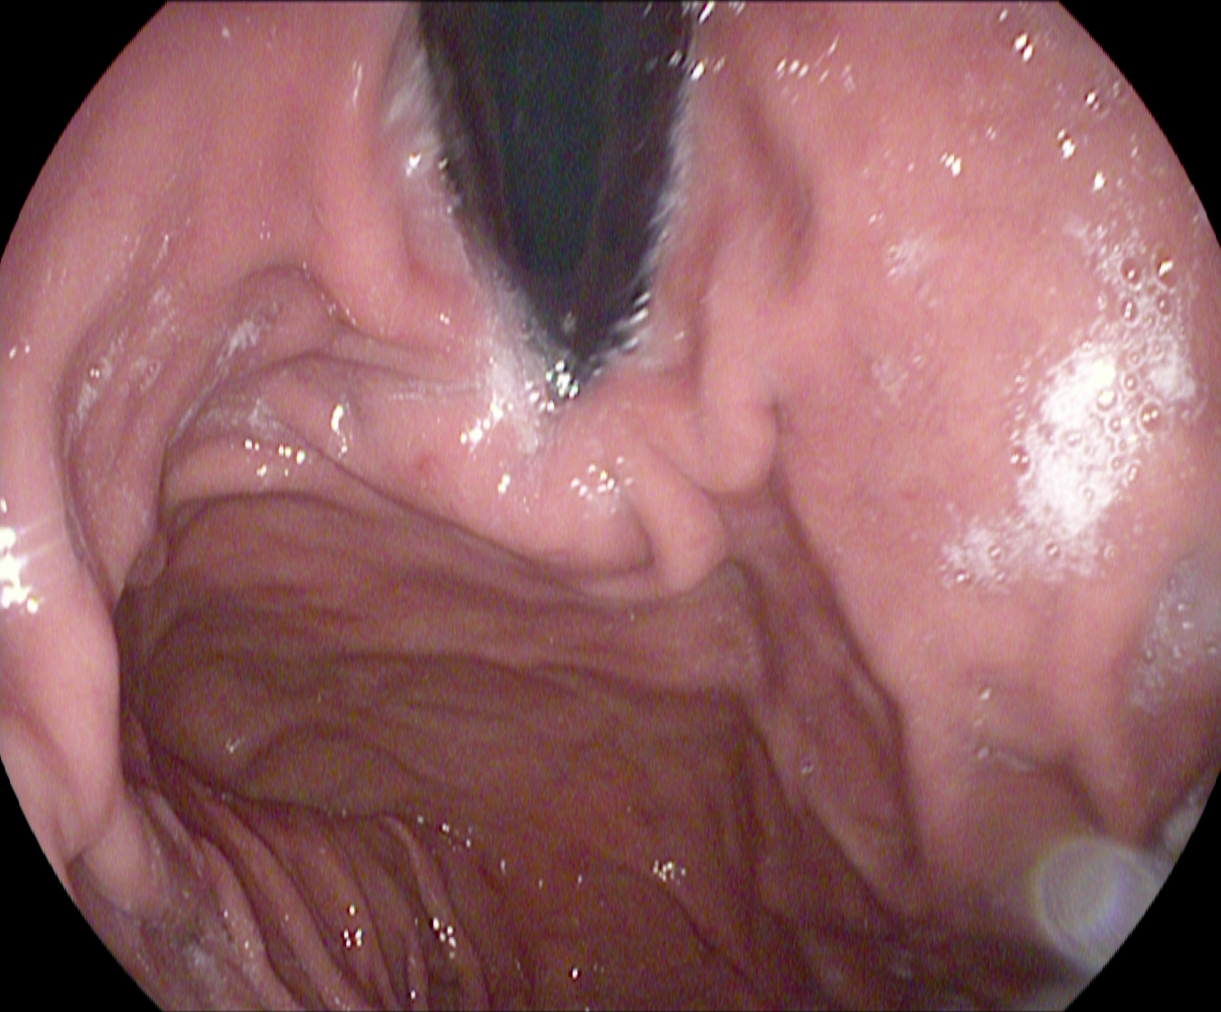Stomach in retroflexion.